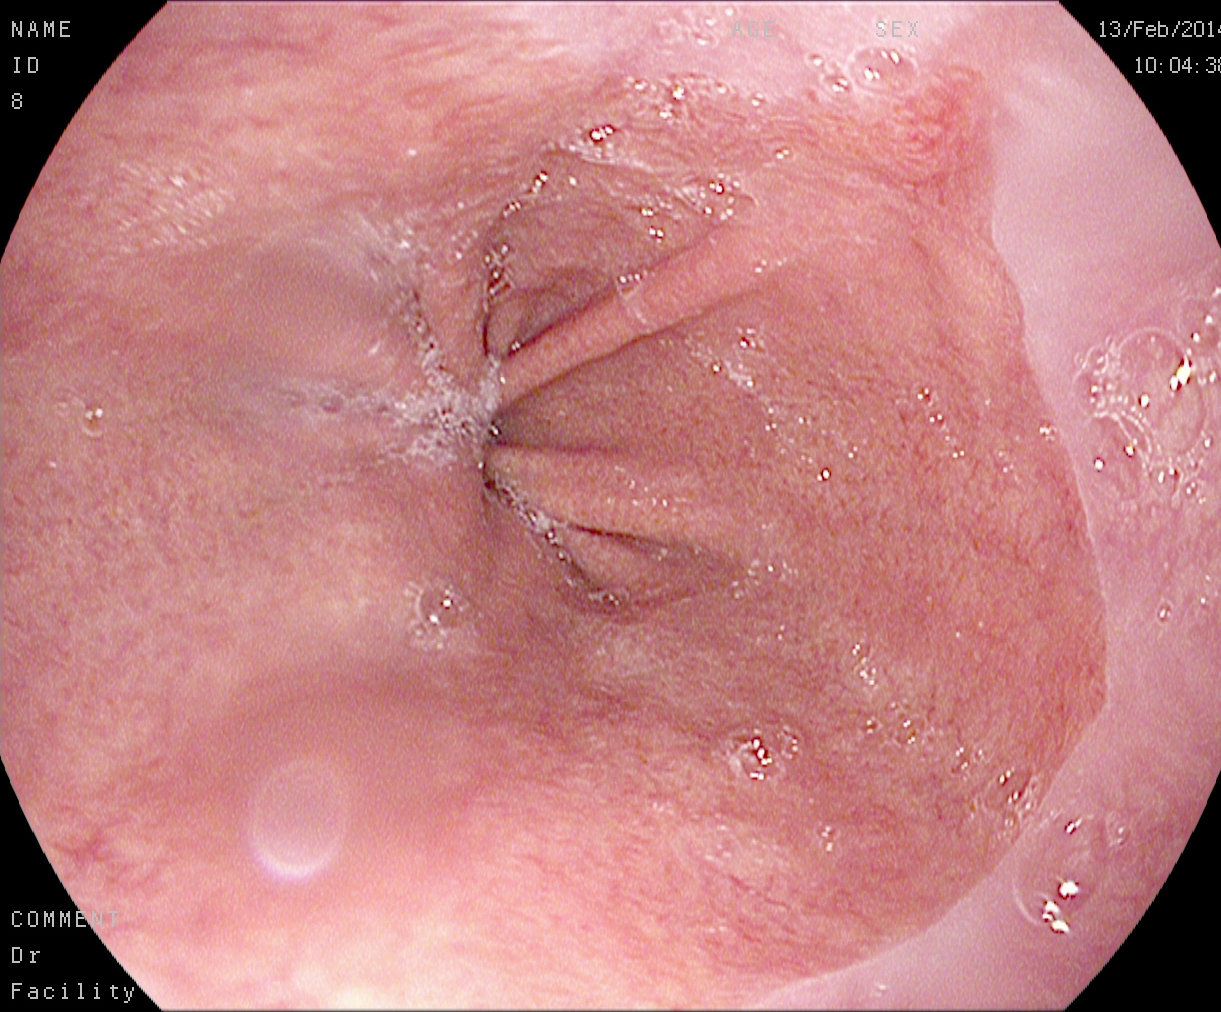modality: esophagogastroduodenoscopy | tract: upper GI tract | finding: Barrett's esophagus